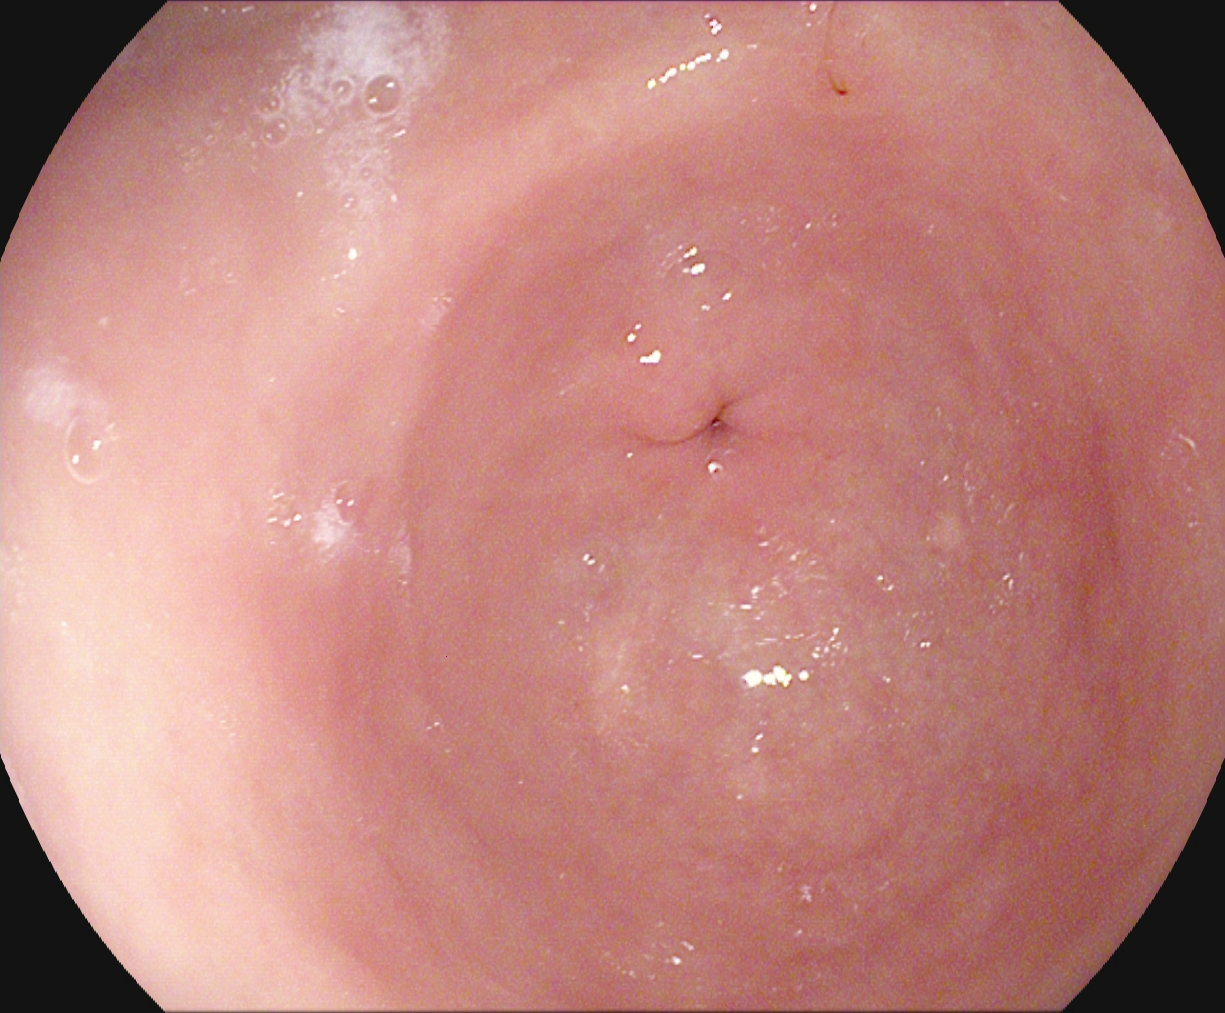EGD — pylorus.